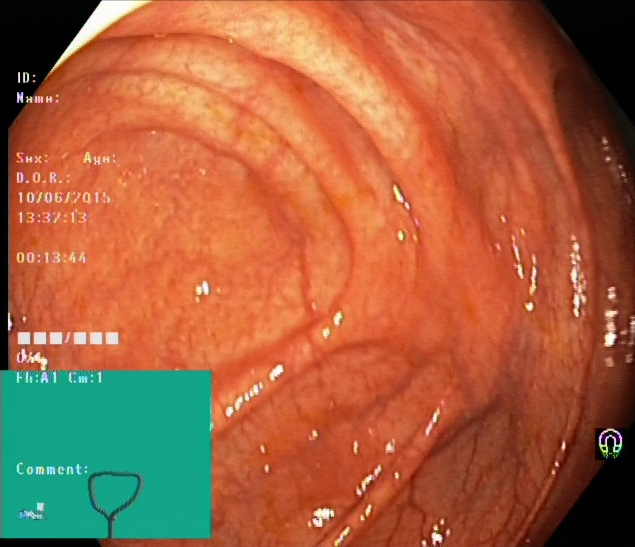{"modality": "lower-GI endoscopy", "finding": "cecum"}